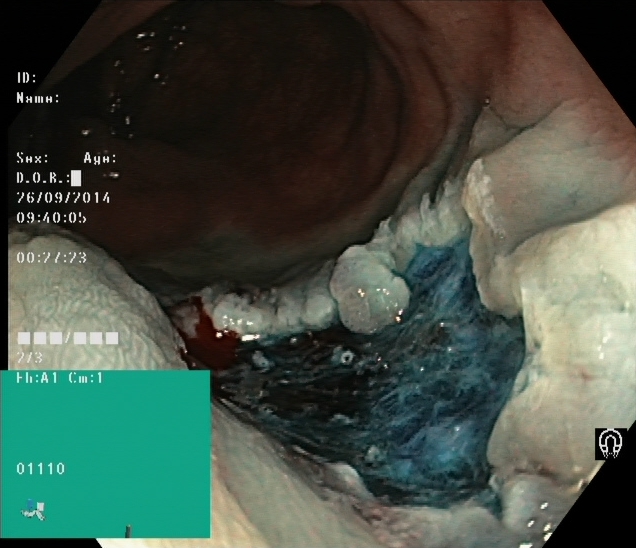Lower gastrointestinal endoscopy. Tract: lower GI tract. Finding: dyed resection margins (post-polypectomy).